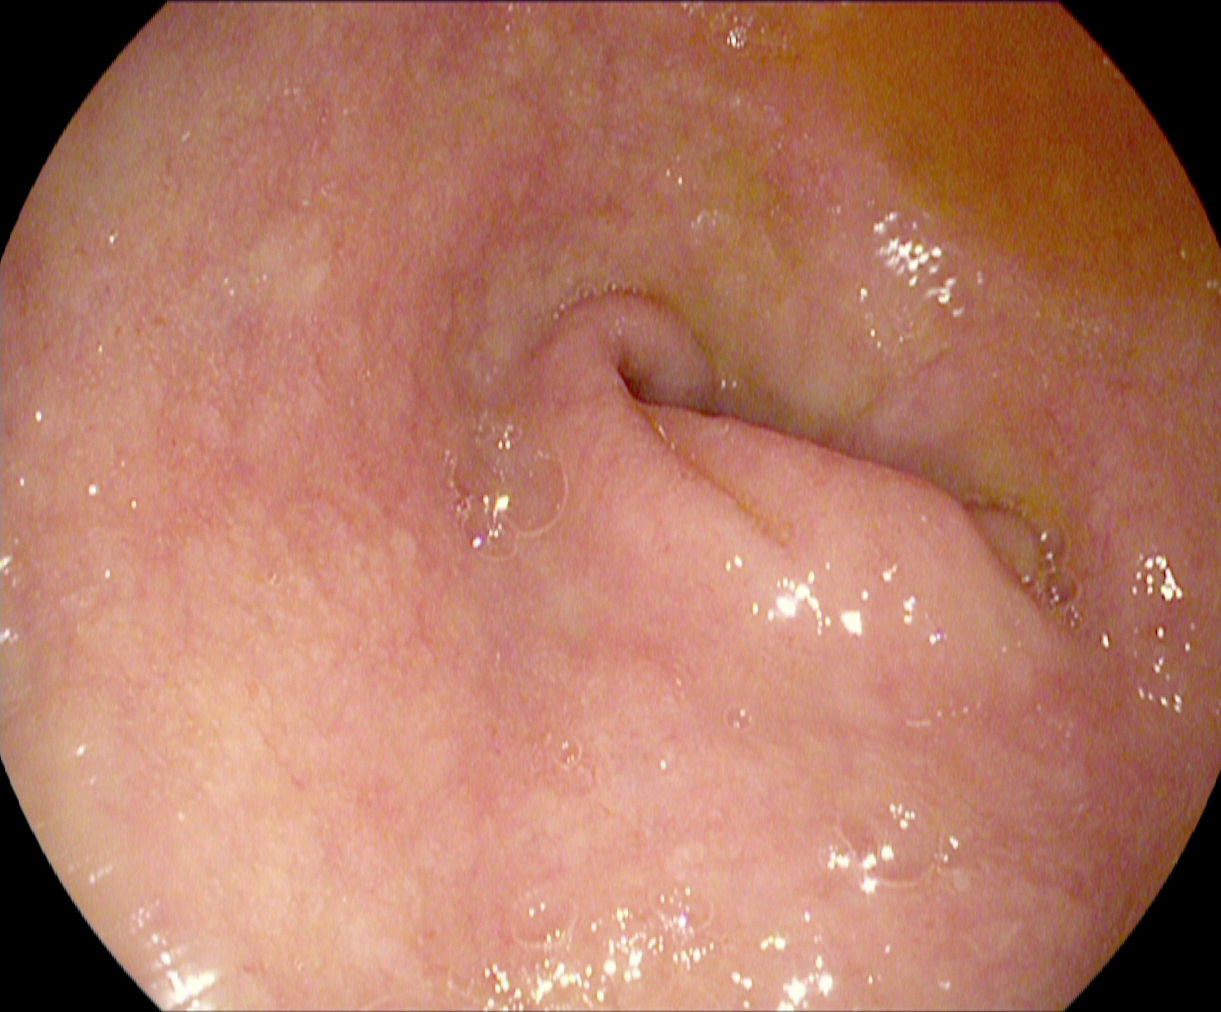modality: EGD; category: anatomical landmark; finding: pylorus